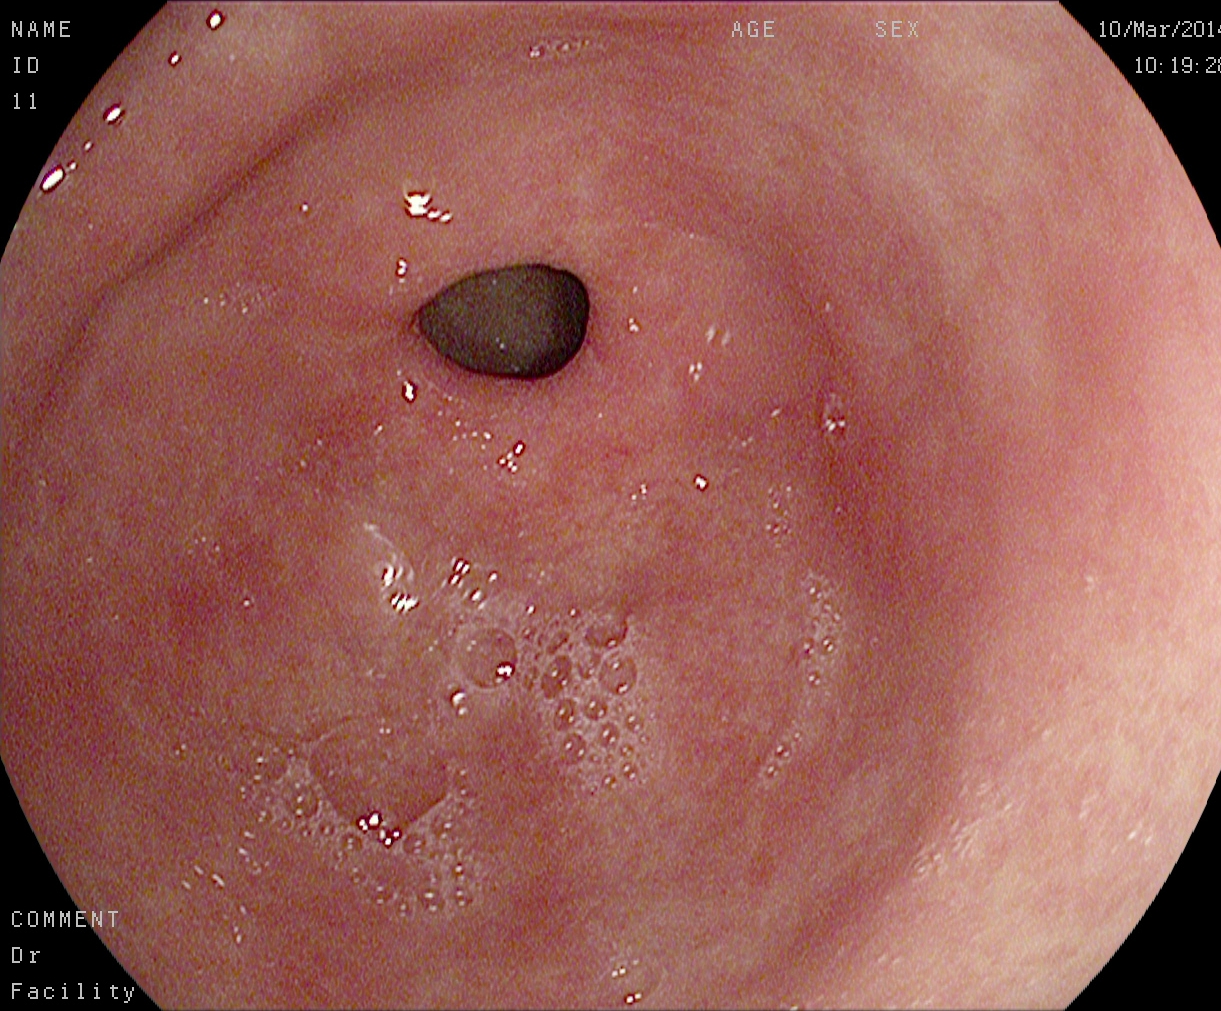PROCEDURE: Gastroscopy.
CATEGORY: Anatomical landmark.
FINDINGS: Pylorus.